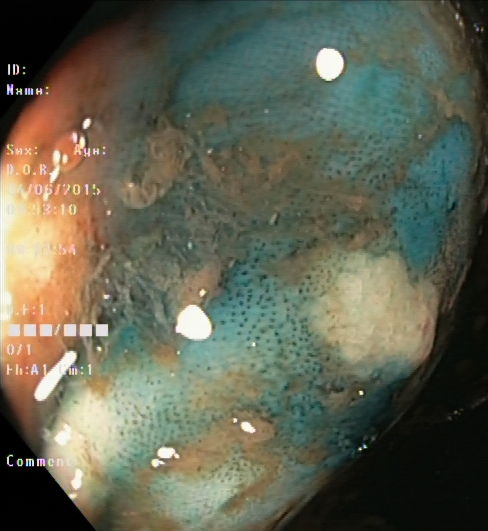This endoscopy frame of the lower GI tract shows dyed and lifted polyp (pre-resection).